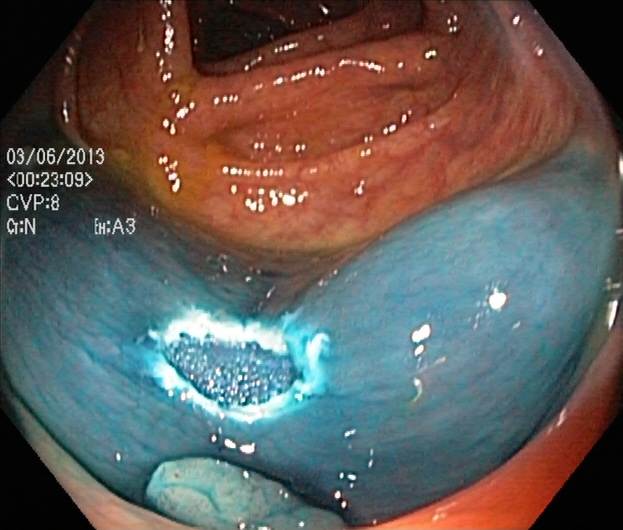modality: lower gastrointestinal endoscopy | category: therapeutic intervention | finding: dyed resection margins (post-polypectomy)